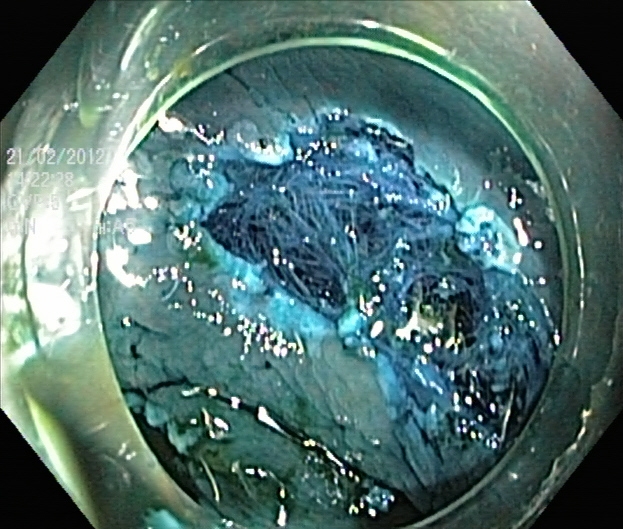This endoscopic image of the lower GI tract shows dyed resection margins (post-polypectomy).